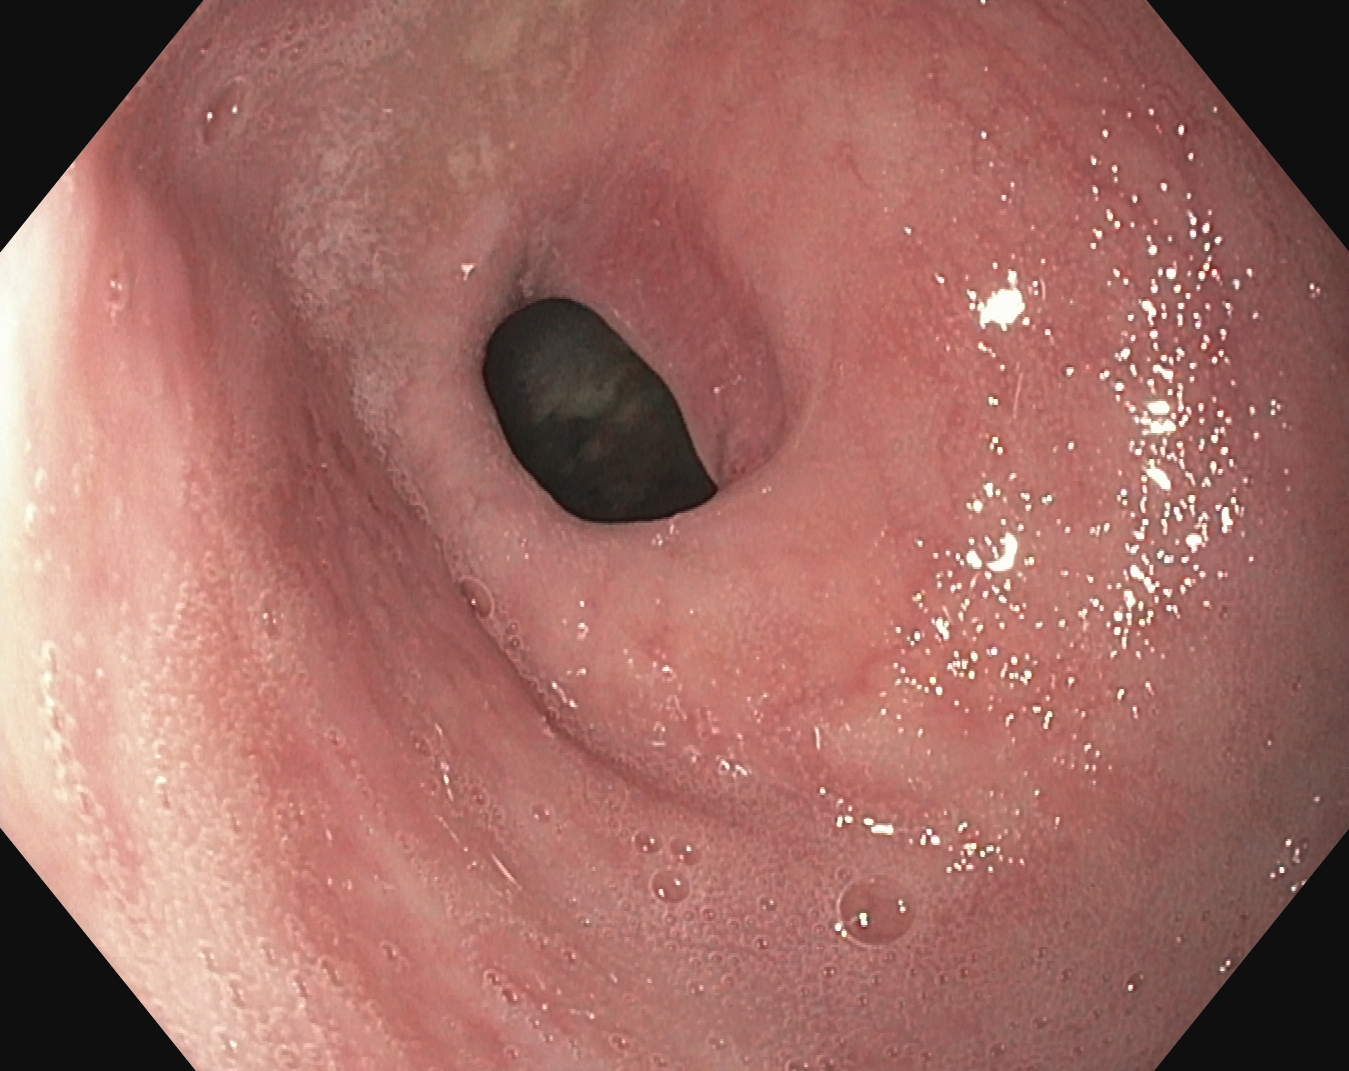Upper-GI endoscopy — pylorus.